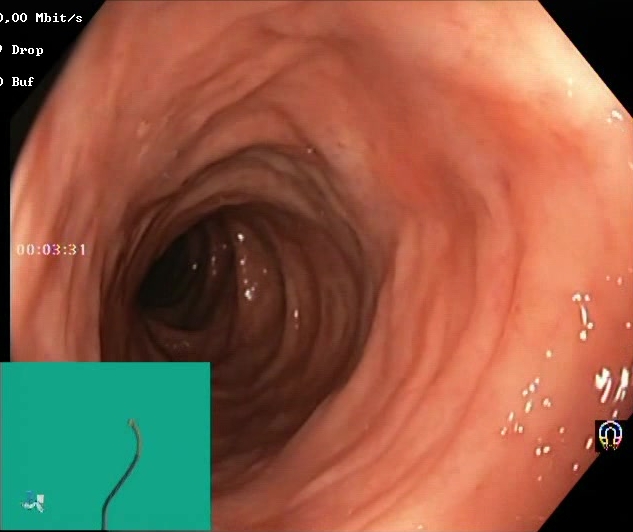BBPS score 2–3 (adequate preparation).